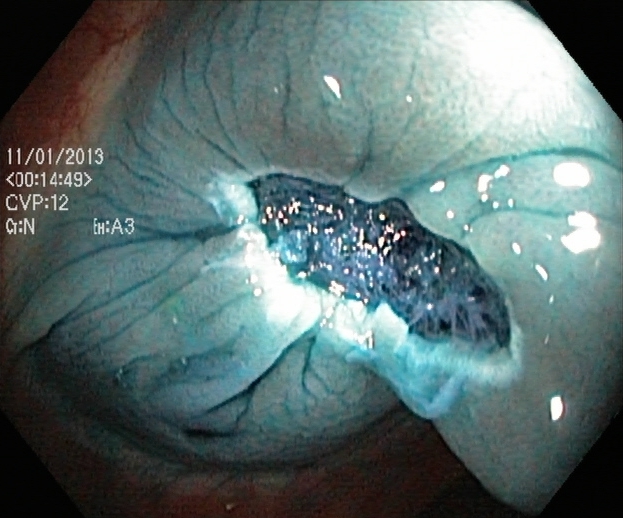modality: lower gastrointestinal endoscopy | tract: lower GI tract | category: therapeutic intervention | finding: dyed resection margins (post-polypectomy)